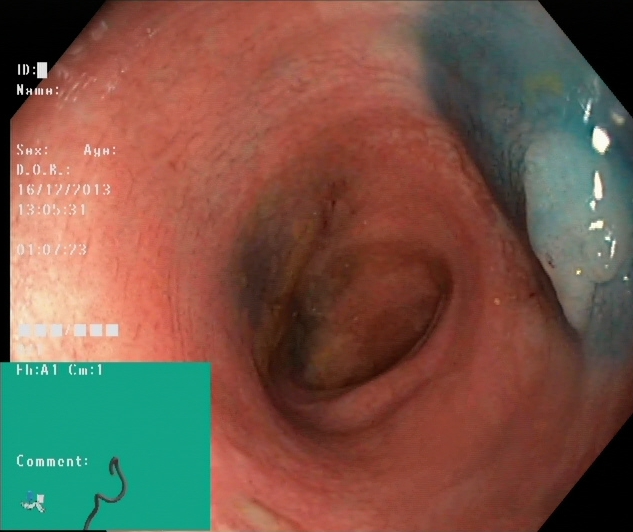PROCEDURE: Colonoscopy.
CATEGORY: Therapeutic intervention.
FINDINGS: Dyed and lifted polyp (pre-resection).